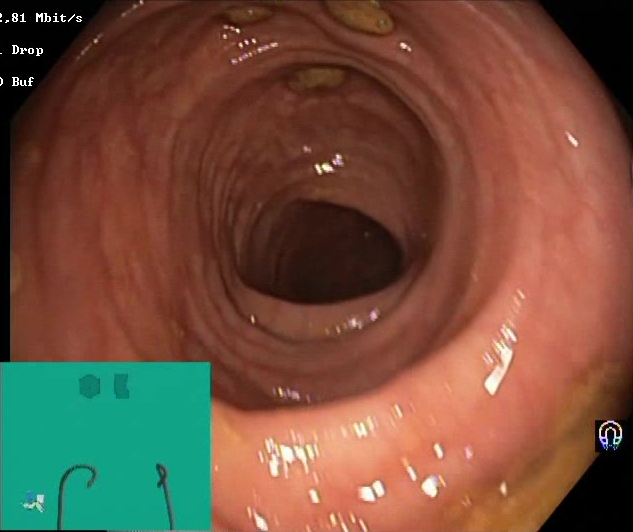Colonoscopy. Tract: lower GI tract. Finding: impacted stool.